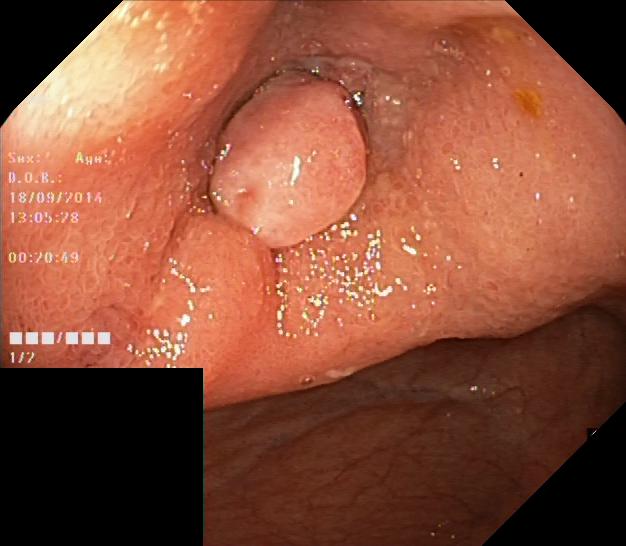PROCEDURE: Colonoscopy.
CATEGORY: Pathological finding.
FINDINGS: Colorectal polyp(s).